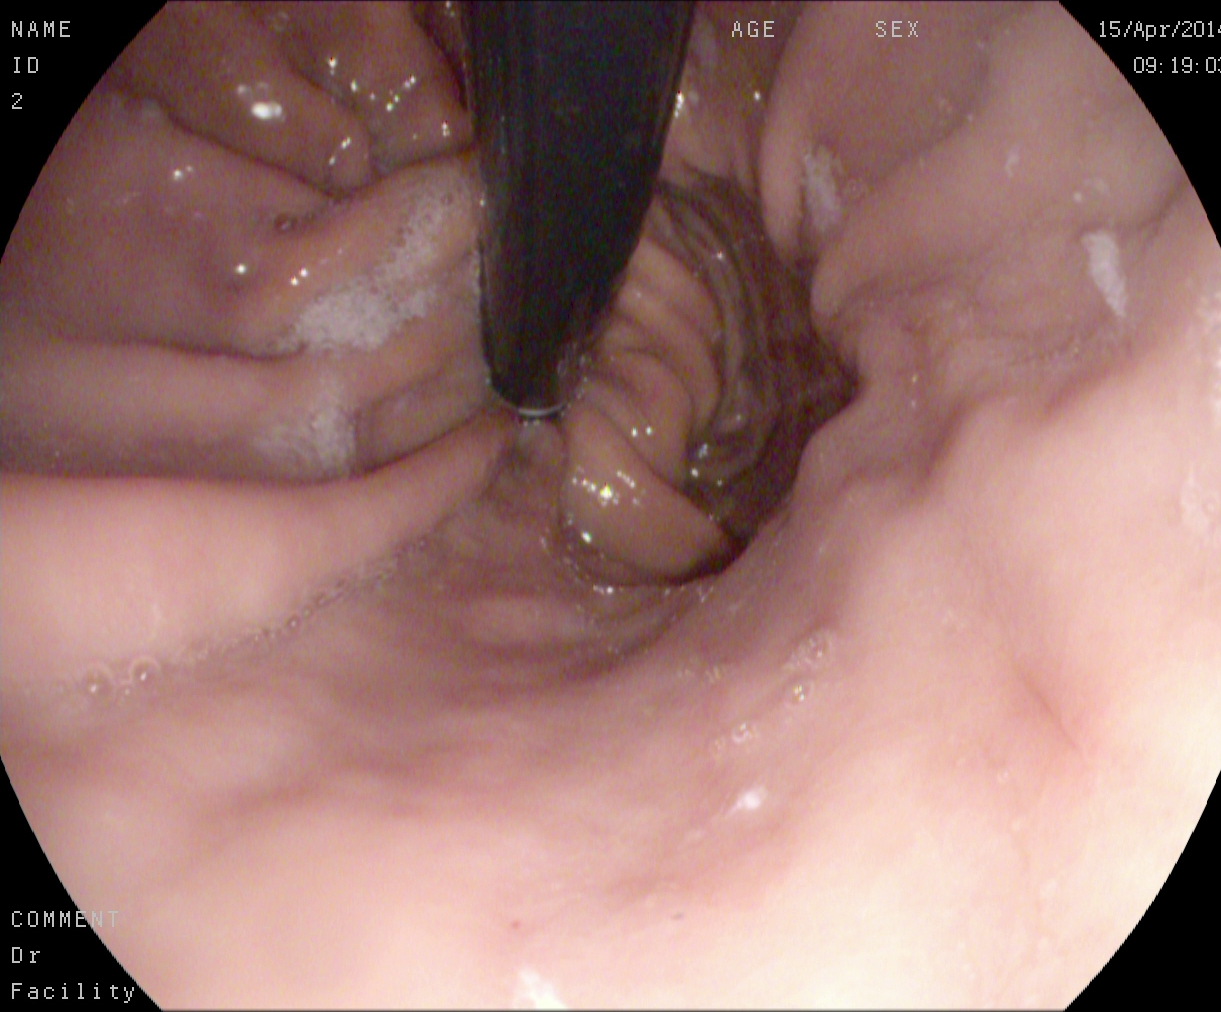This endoscopic image of the upper GI tract shows stomach in retroflexion.